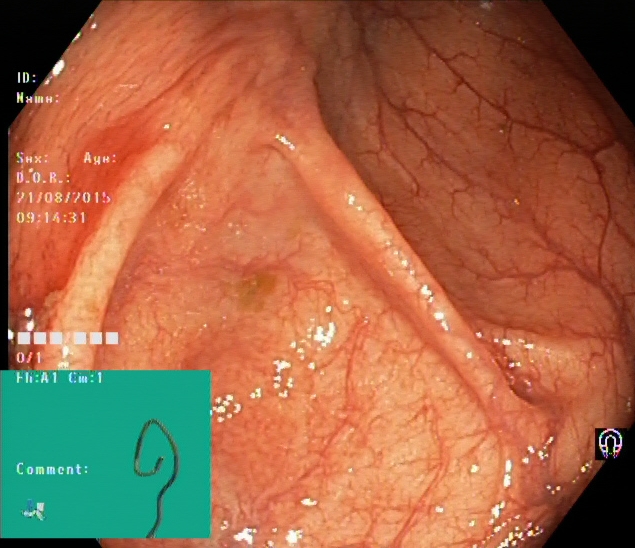Endoscopy image of the lower GI tract showing cecum.